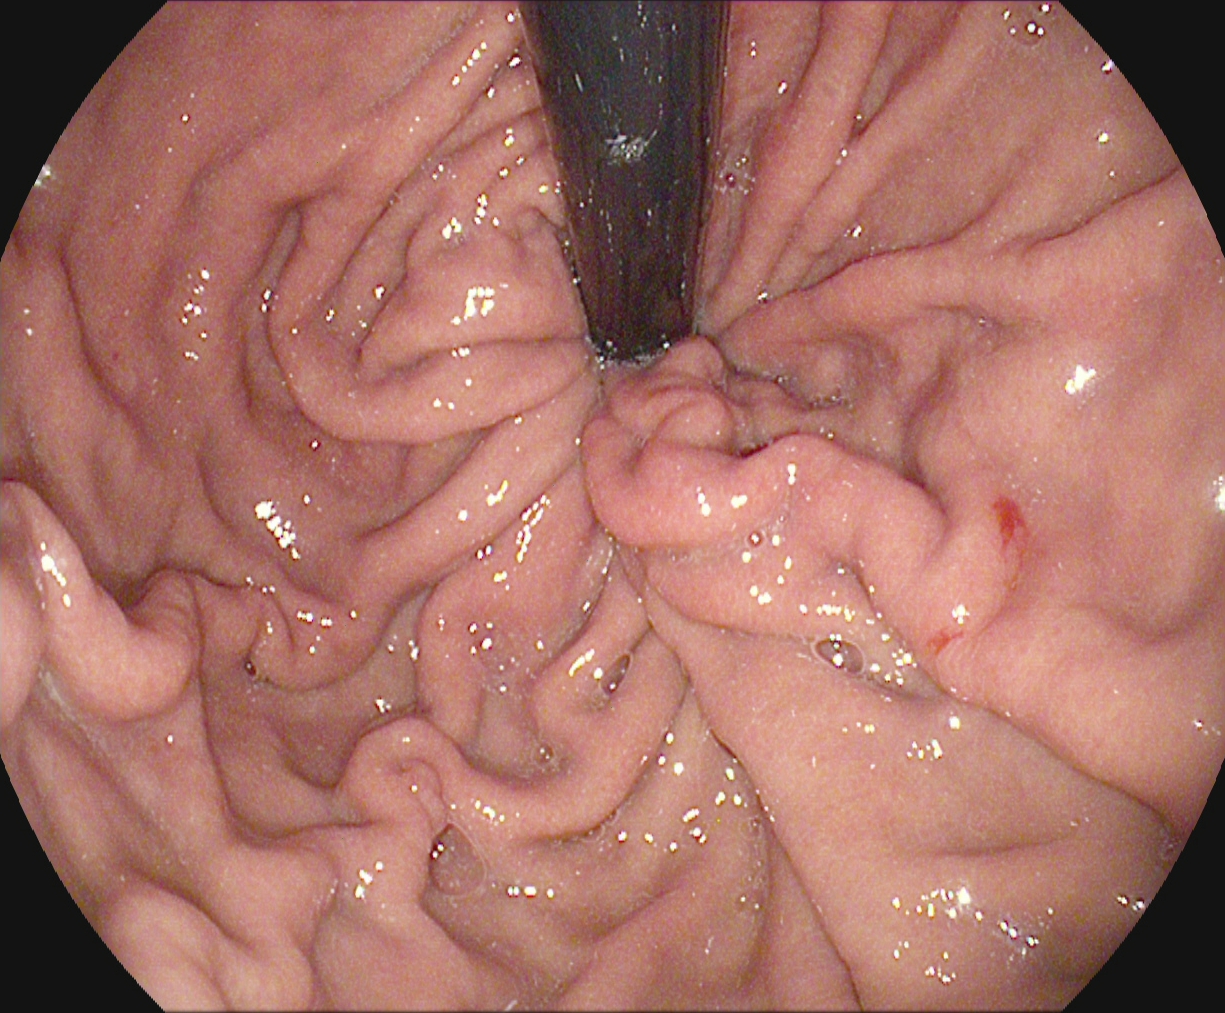{"modality": "esophagogastroduodenoscopy", "tract": "upper GI tract", "category": "anatomical landmark", "finding": "stomach in retroflexion"}